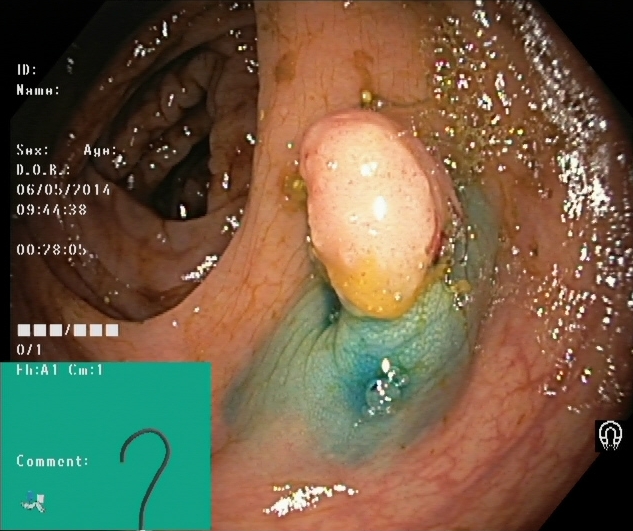Endoscopic frame showing dyed and lifted polyp (pre-resection).